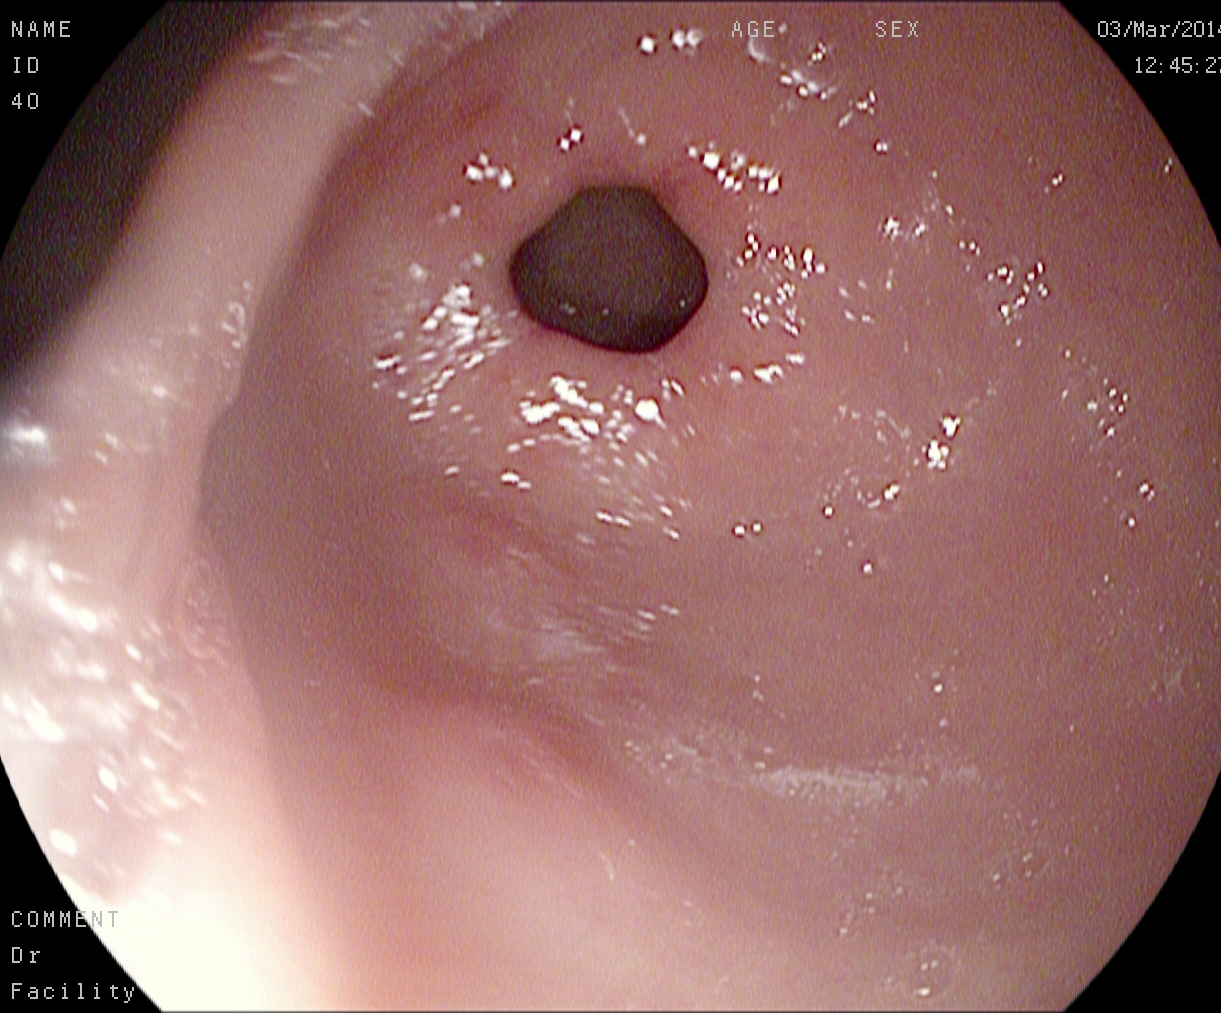Endoscopic image of the upper GI tract showing pylorus.